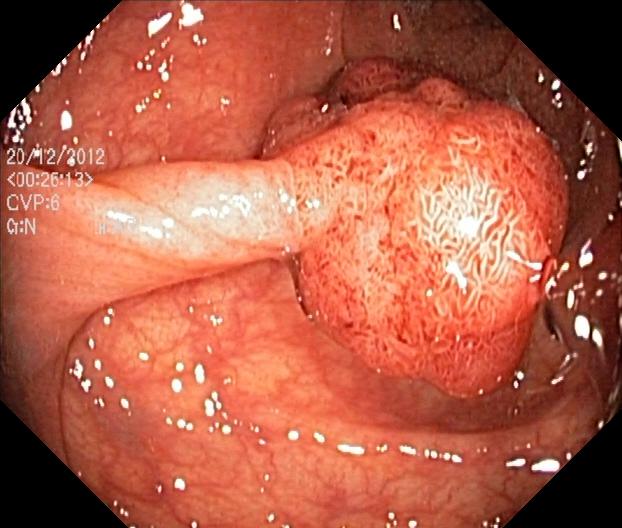Lower gastrointestinal endoscopy — colorectal polyp(s).